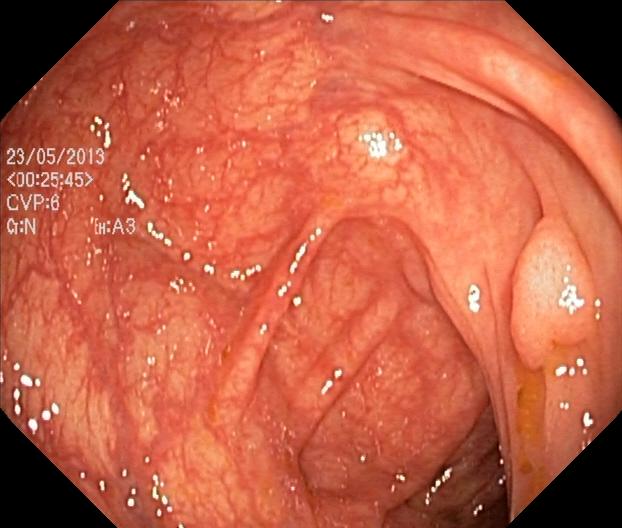Colonoscopy image showing colorectal polyp(s).